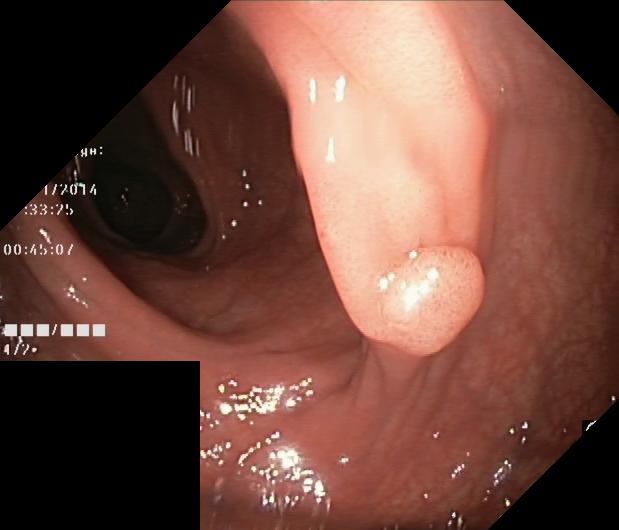PROCEDURE: Colonoscopy.
FINDINGS: Colorectal polyp(s).